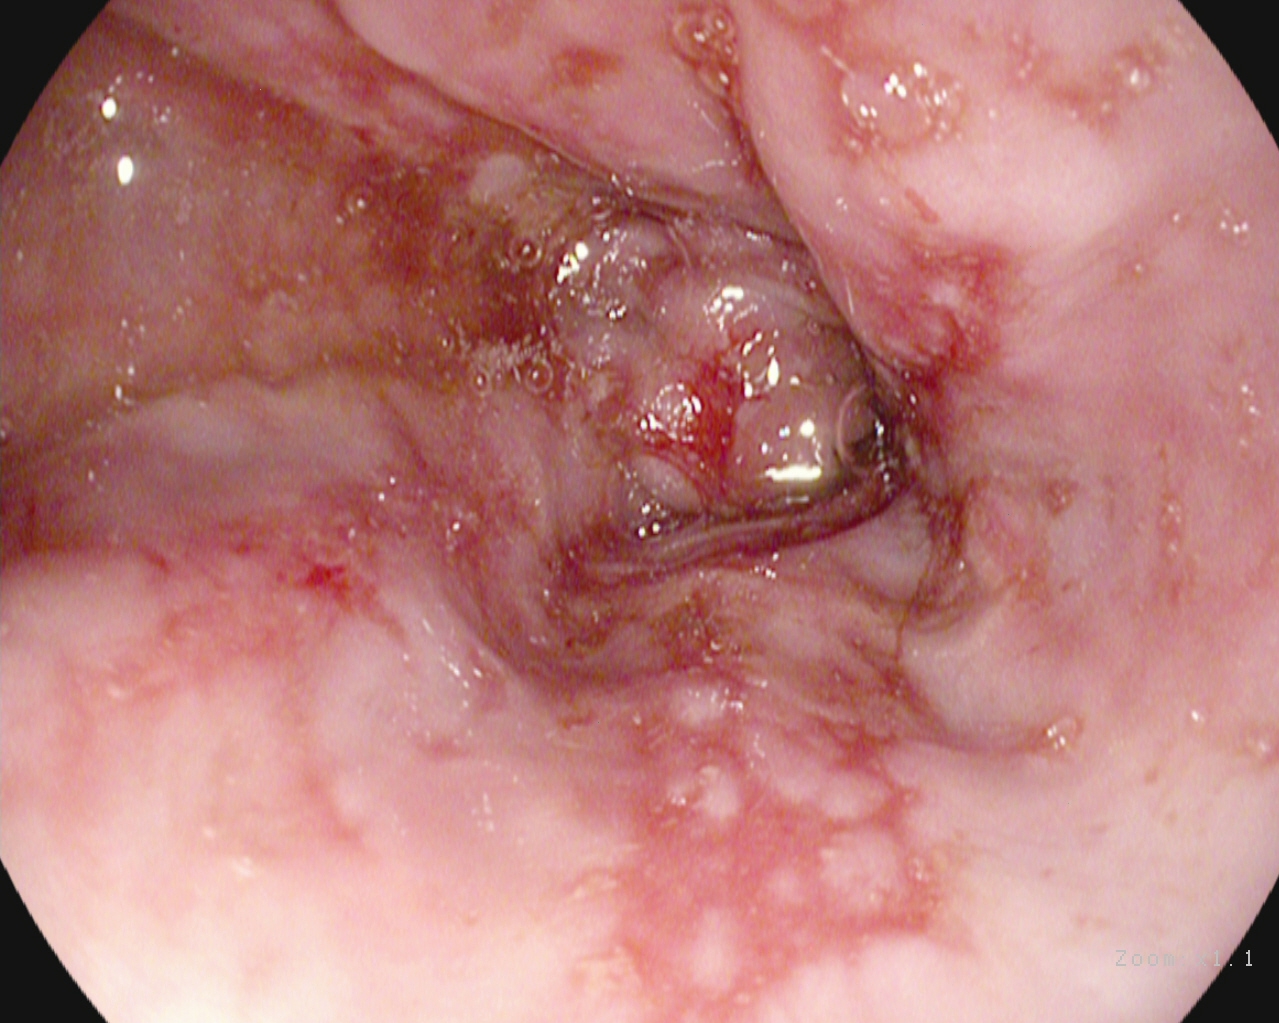Reflux esophagitis, LA grade B–D.